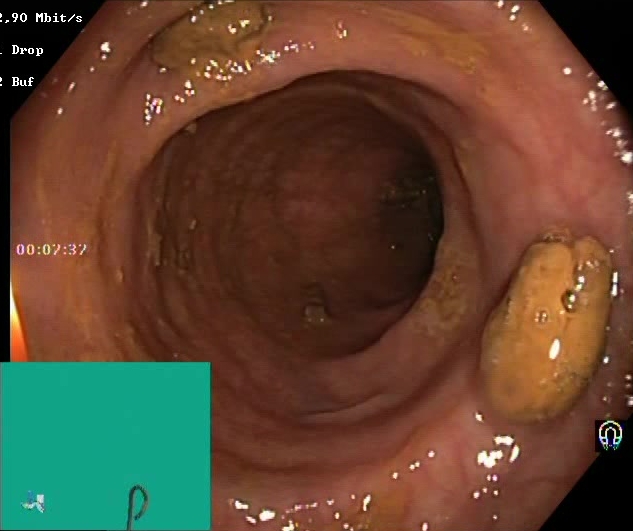Lower-GI endoscopy. Finding: impacted stool.